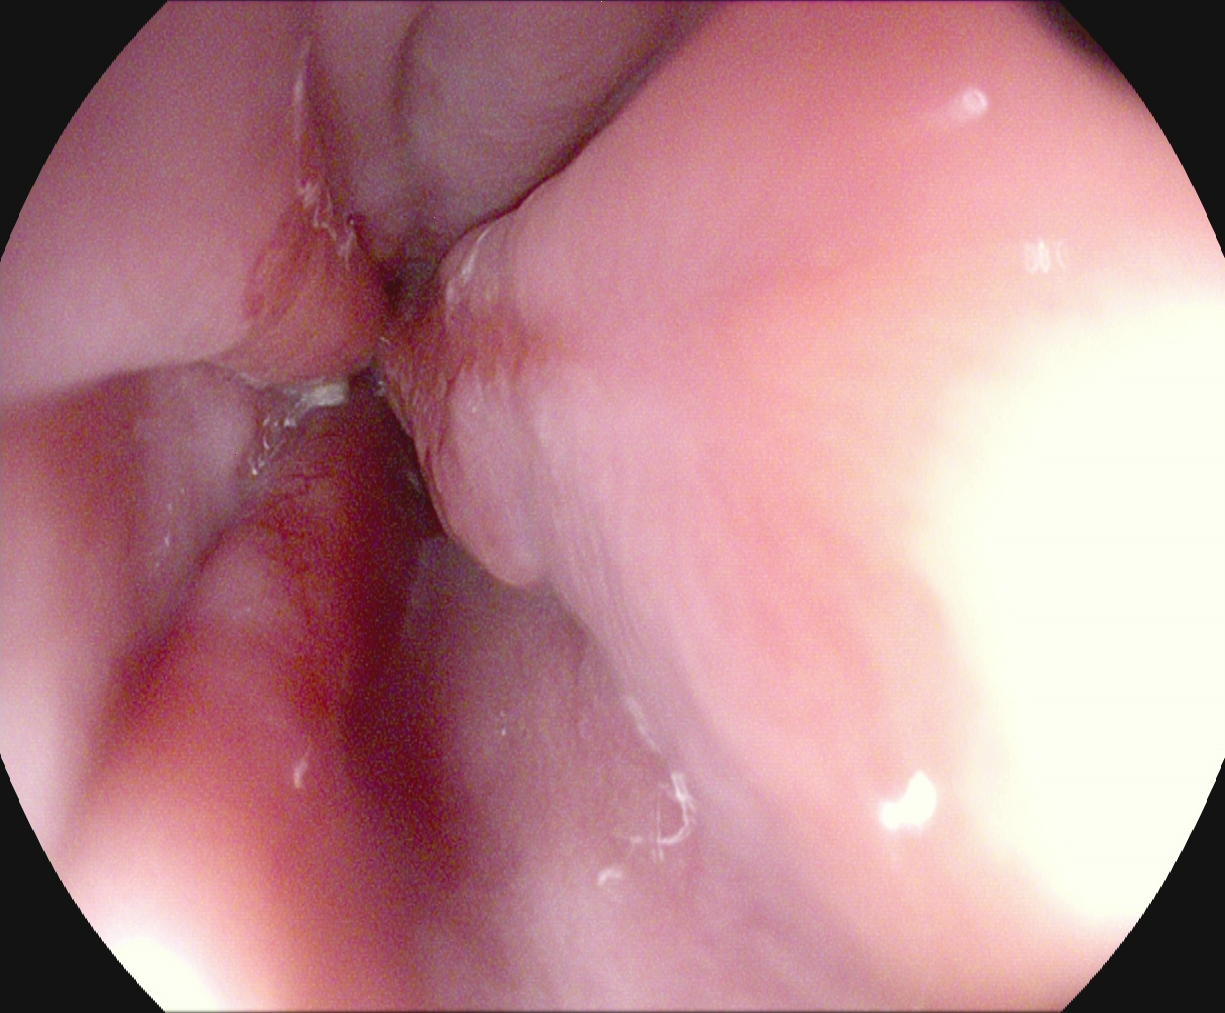Reflux esophagitis, Los Angeles grade A.